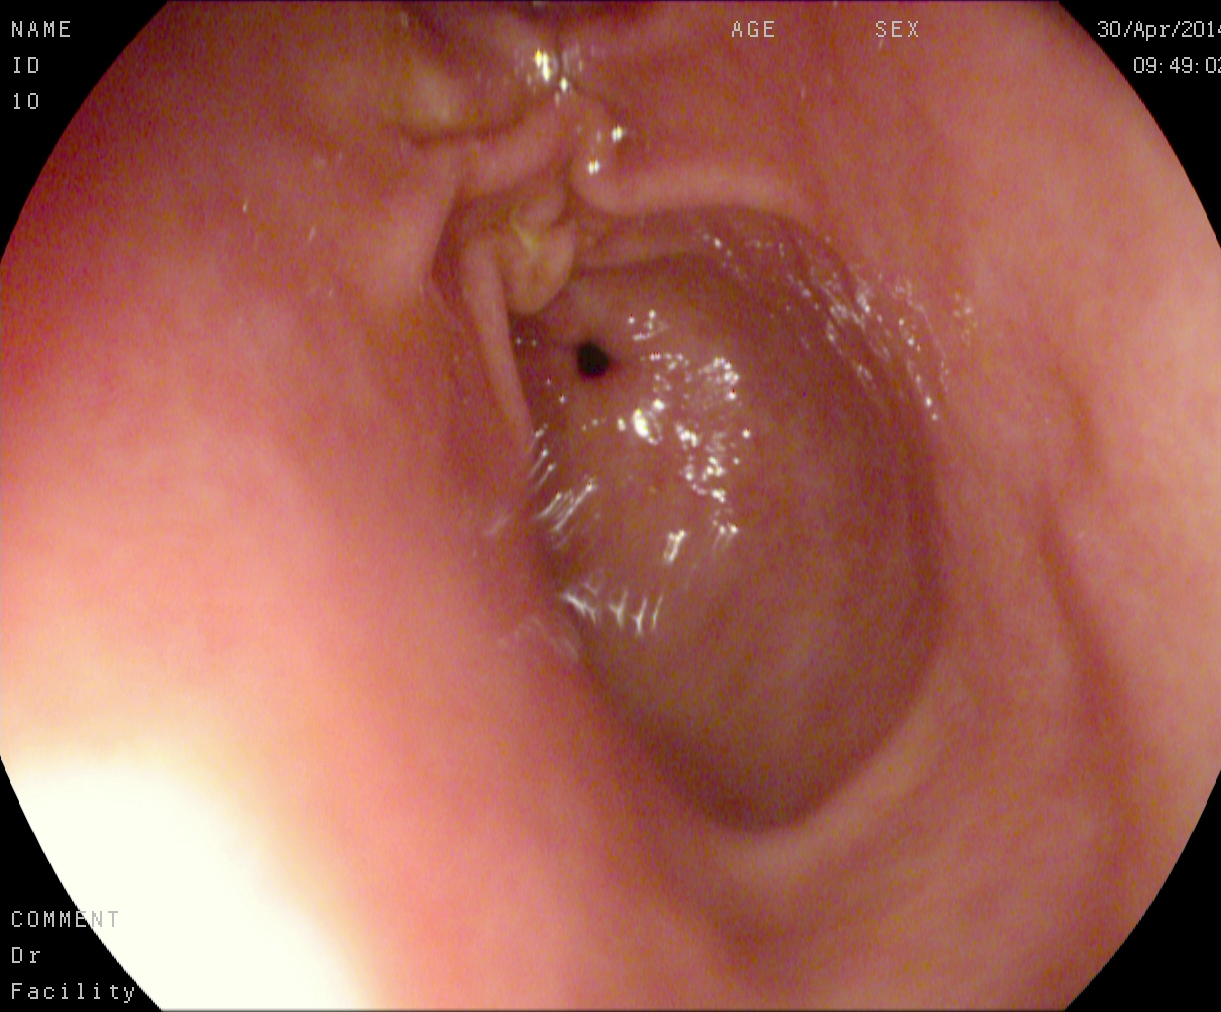EGD. Finding: pylorus.